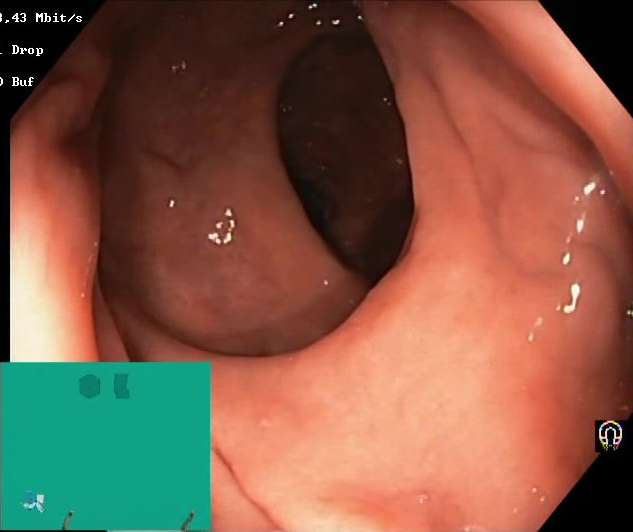Colonoscopy. Tract: lower GI tract. Finding: BBPS score 2–3 (adequate preparation).